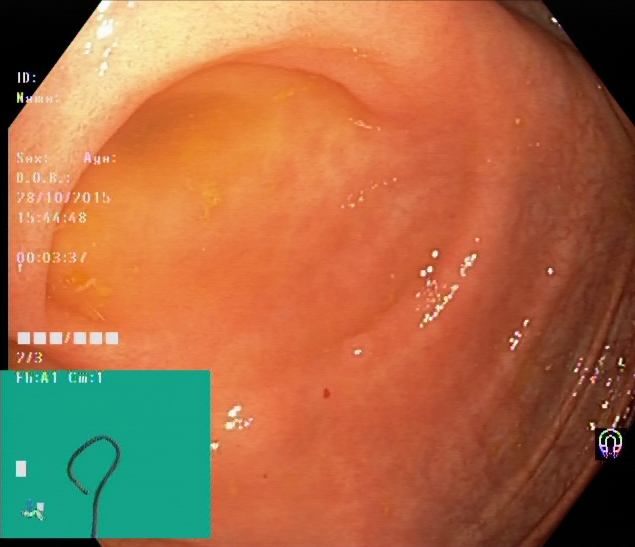Lower-GI endoscopy. Tract: lower GI tract. Anatomical landmark. Finding: cecum.